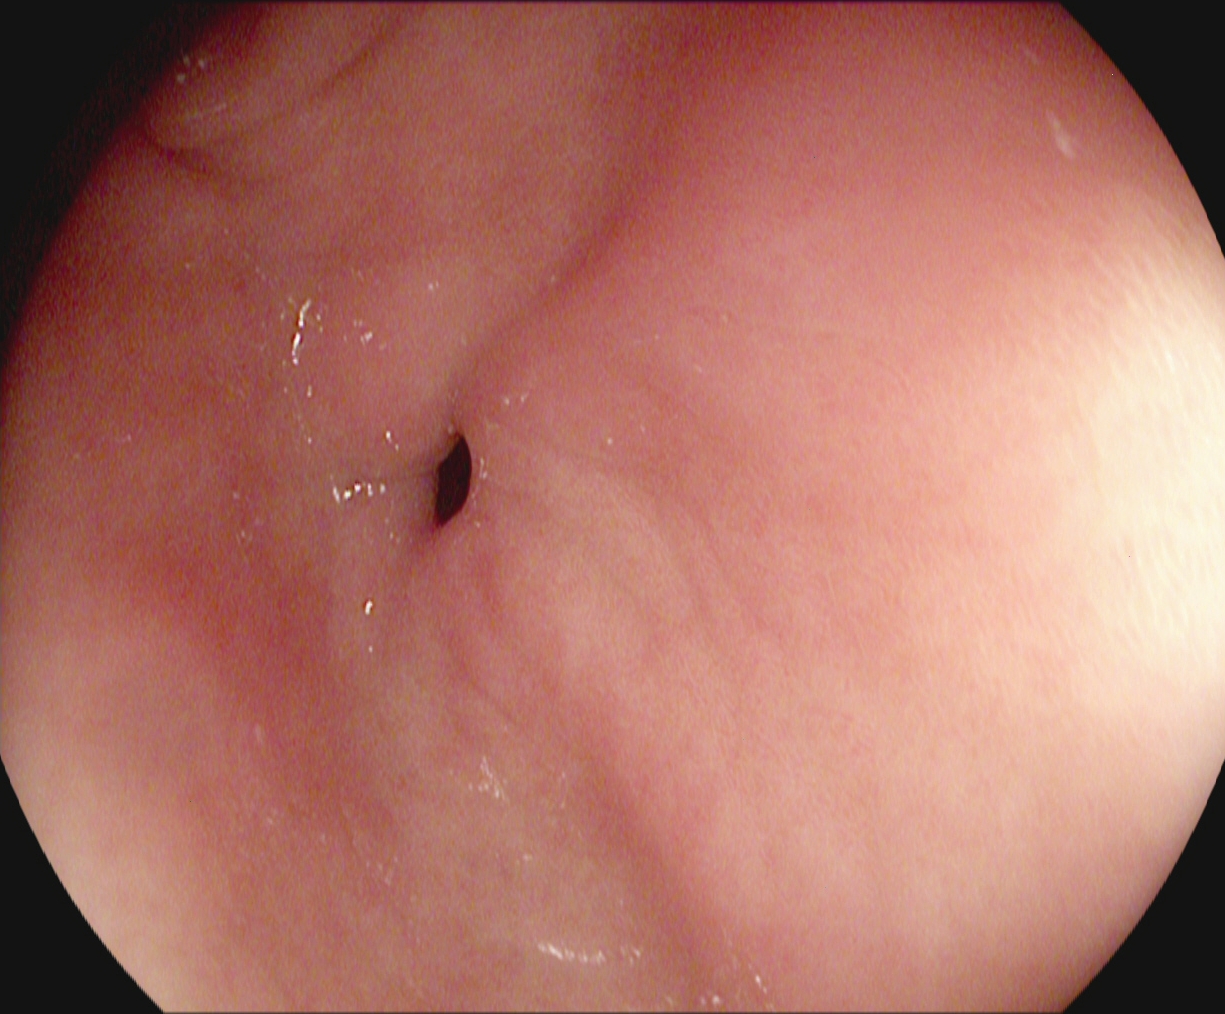{"modality": "upper-GI endoscopy", "finding": "pylorus"}